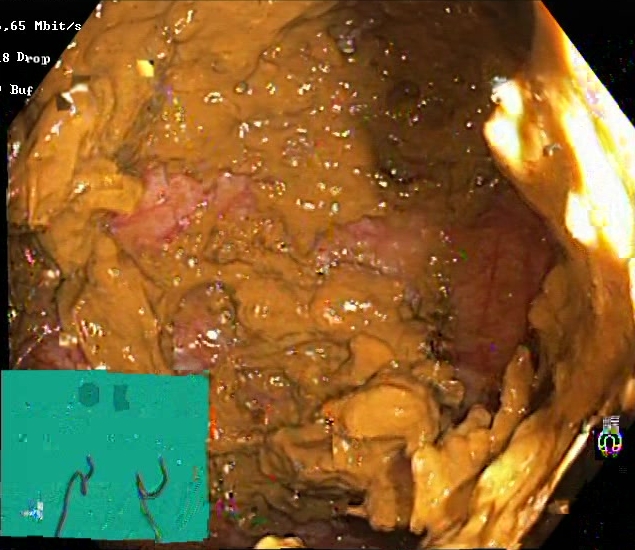PROCEDURE: Lower gastrointestinal endoscopy.
FINDINGS: BBPS score 0–1 (inadequate preparation).